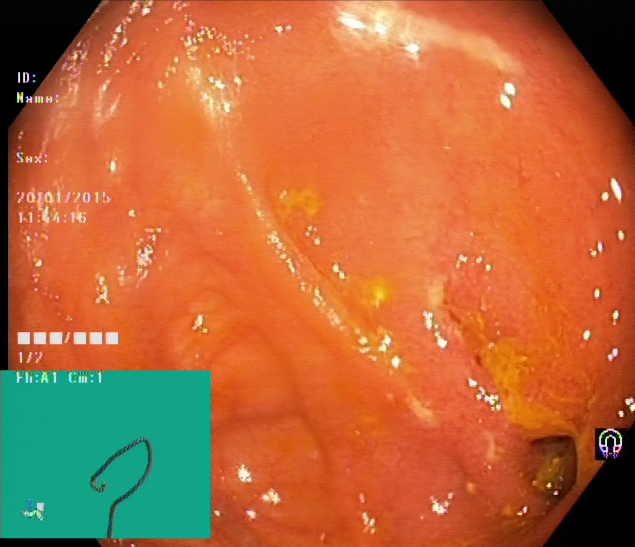PROCEDURE: Colonoscopy.
CATEGORY: Anatomical landmark.
FINDINGS: Cecum.